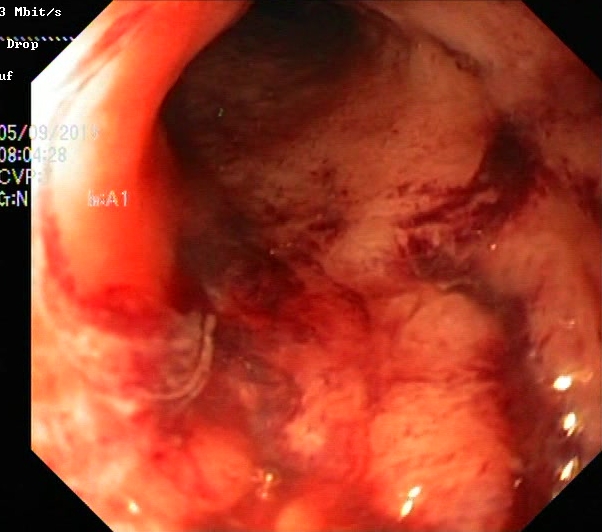Gastrointestinal endoscopy image of the lower GI tract showing ulcerative colitis, Mayo endoscopic subscore 3.